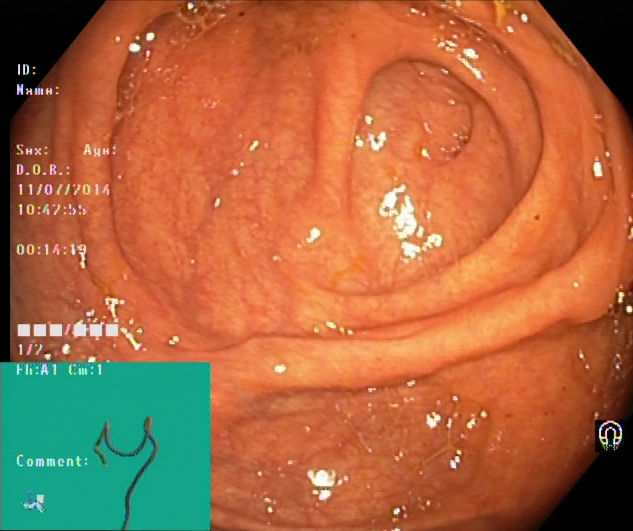GI endoscopy image of the lower GI tract showing cecum.